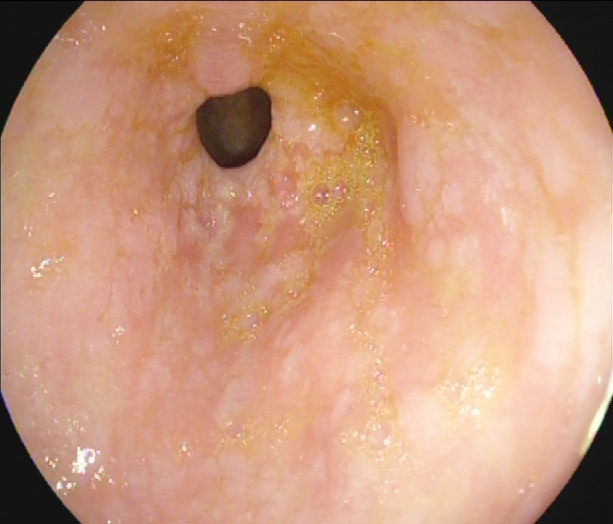This endoscopy frame shows pylorus.